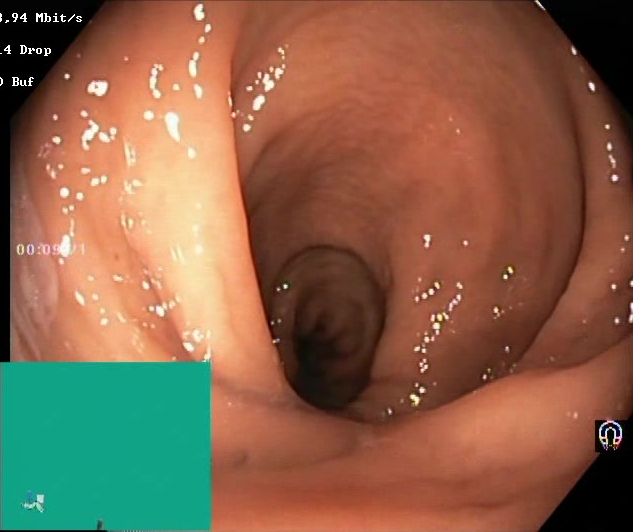{"modality": "lower-GI endoscopy", "category": "mucosal-view quality", "finding": "BBPS score 2\u20133 (adequate preparation)"}